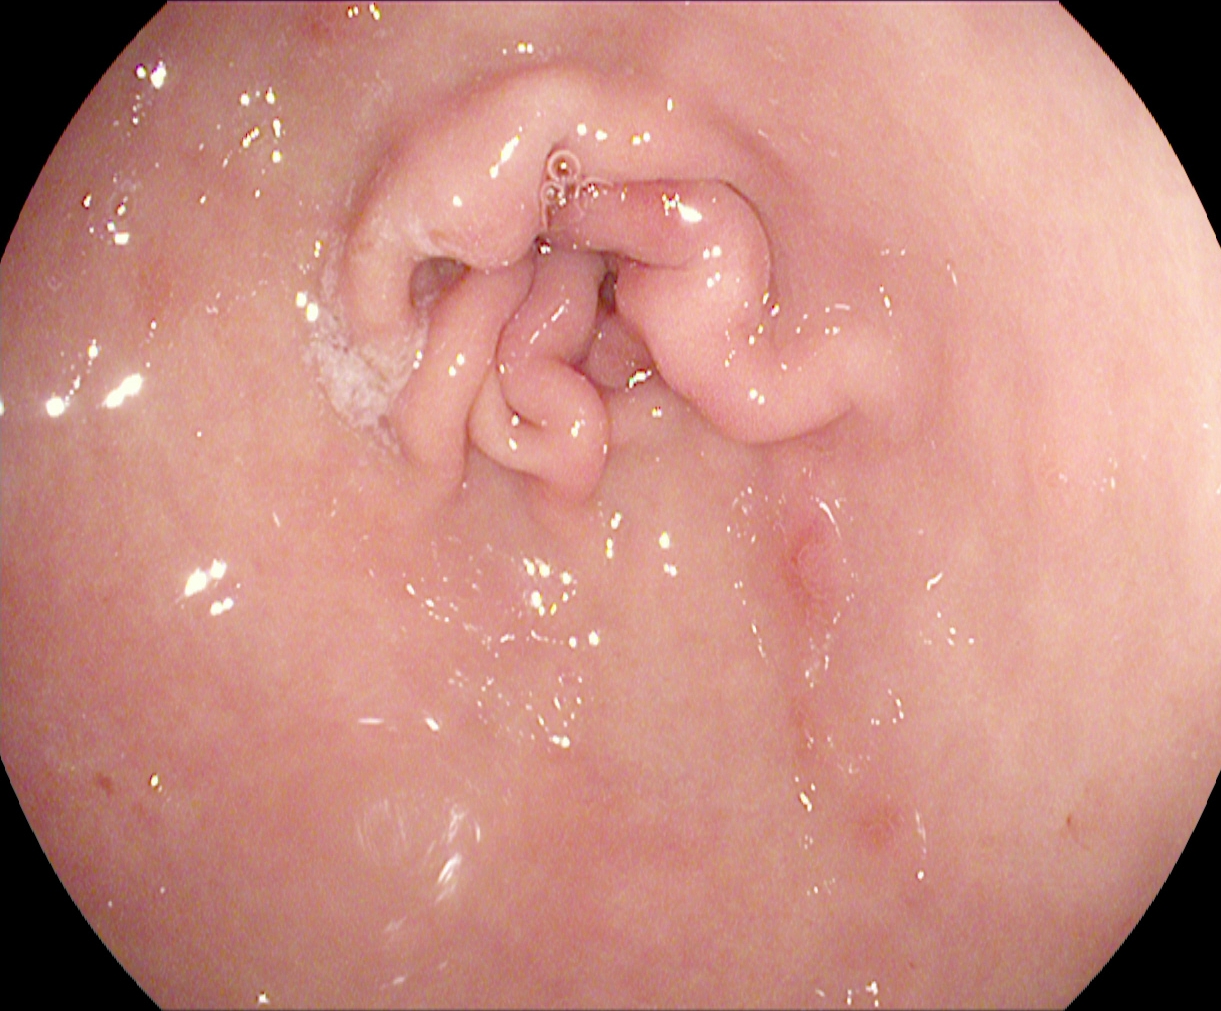This endoscopy frame of the upper GI tract shows pylorus.